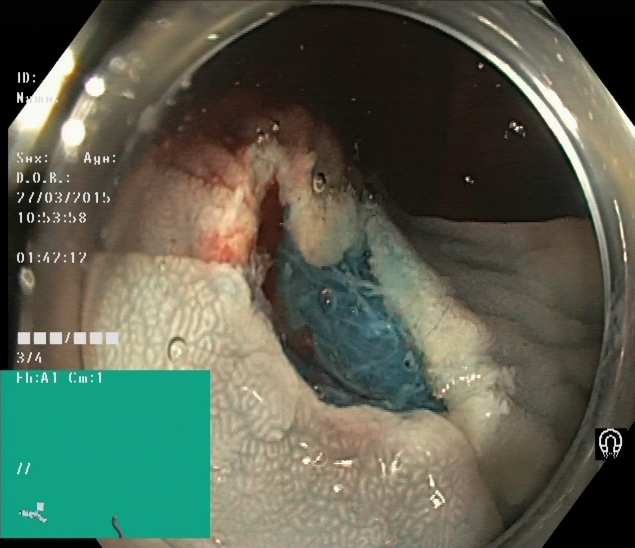Endoscopy image of the lower GI tract showing dyed resection margins (post-polypectomy).